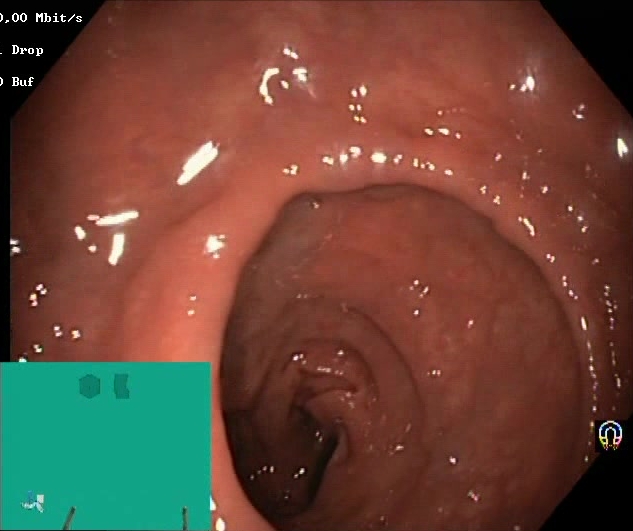modality: lower gastrointestinal endoscopy
tract: lower GI tract
finding: Boston Bowel Preparation Scale score 2–3 (adequate preparation)